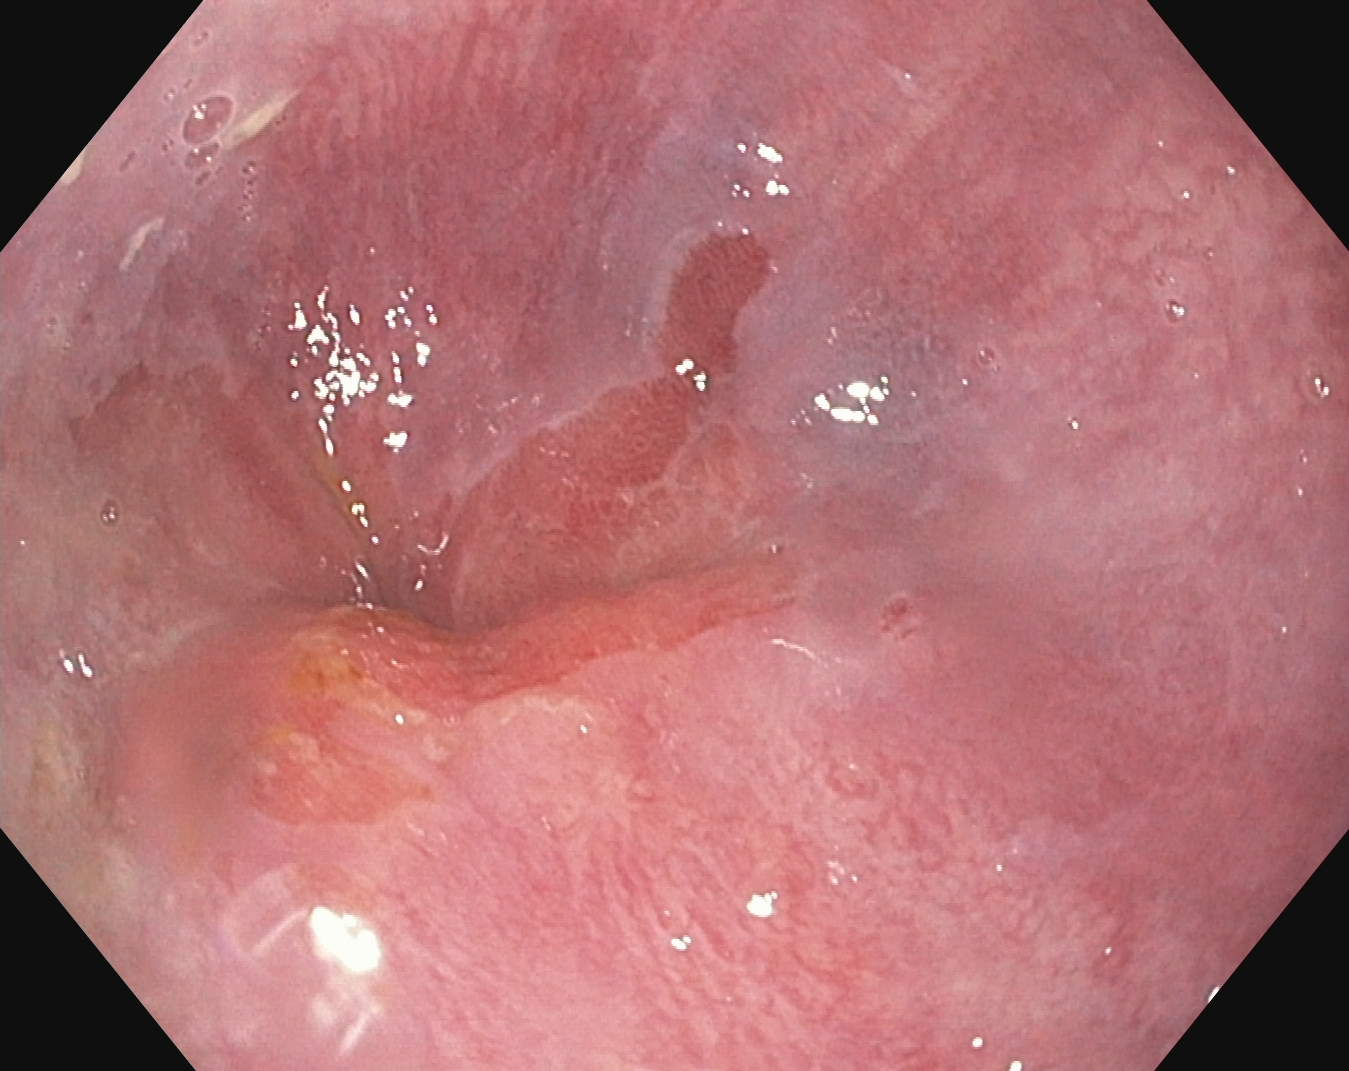Upper-GI endoscopy. Tract: upper GI tract. Finding: Z-line (gastroesophageal junction).